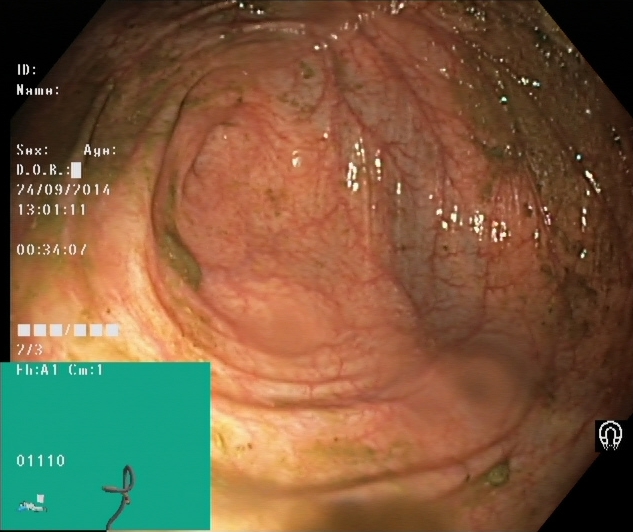This endoscopic image of the lower GI tract shows cecum.